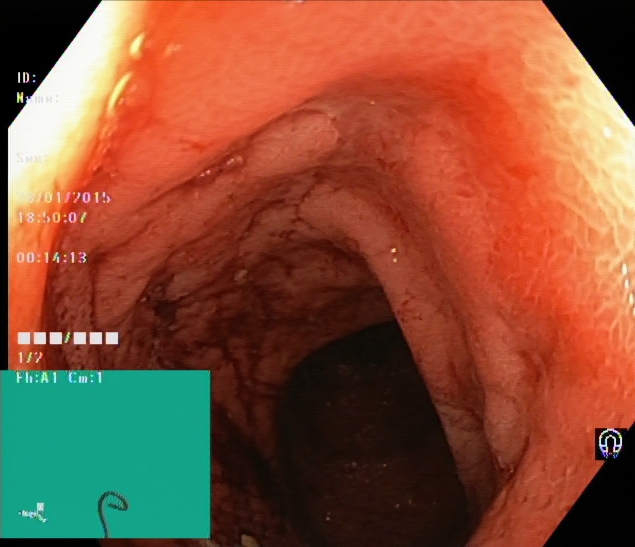This endoscopy frame of the lower GI tract shows ulcerative colitis, Mayo endoscopic subscore 2.